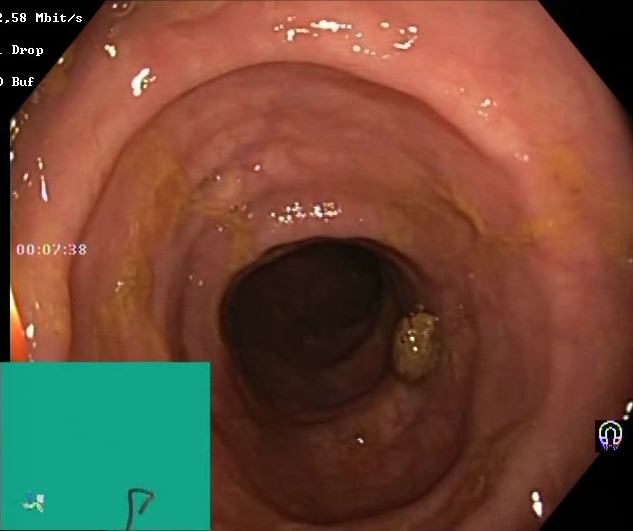{"modality": "lower gastrointestinal endoscopy", "tract": "lower GI tract", "category": "mucosal-view quality", "finding": "Boston Bowel Preparation Scale score 2\u20133 (adequate preparation)"}